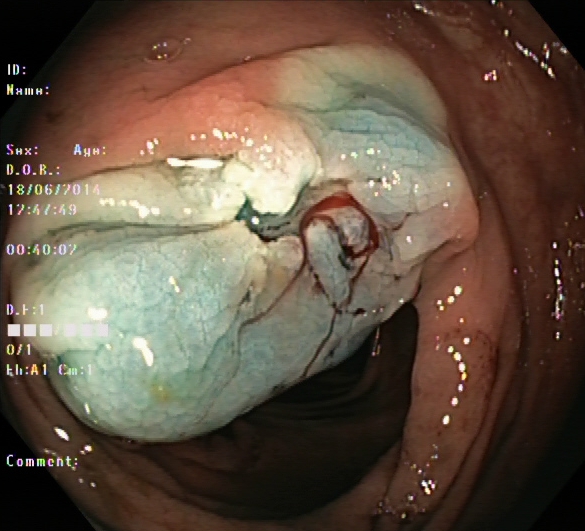Lower-GI endoscopy. Therapeutic intervention. Finding: dyed resection margins (post-polypectomy).